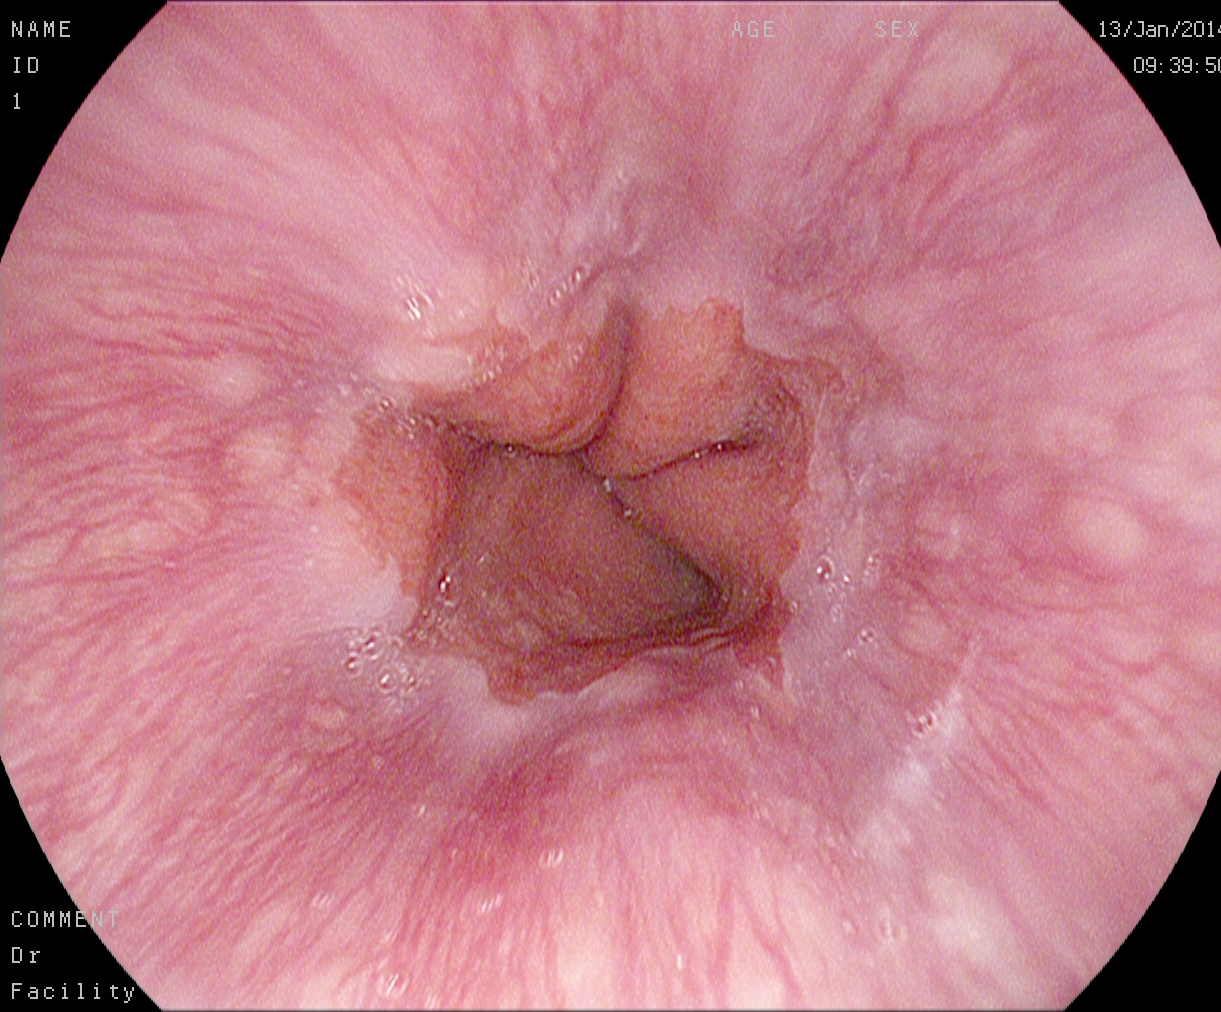{"modality": "esophagogastroduodenoscopy", "tract": "upper GI tract", "category": "pathological finding", "finding": "reflux esophagitis, Los Angeles grade A"}